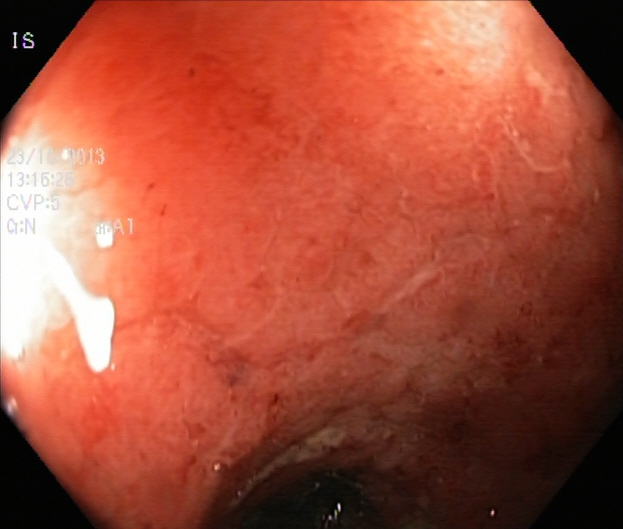Lower gastrointestinal endoscopy — ulcerative colitis, Mayo endoscopic subscore 2.